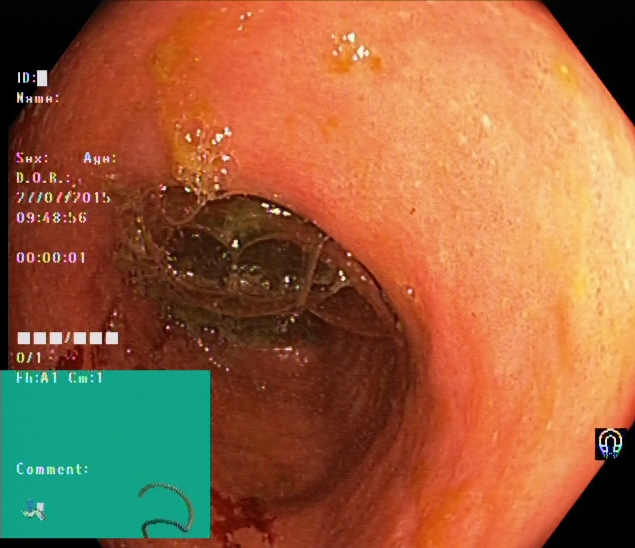Gastrointestinal endoscopy image of the lower GI tract showing ulcerative colitis, Mayo endoscopic subscore 1.